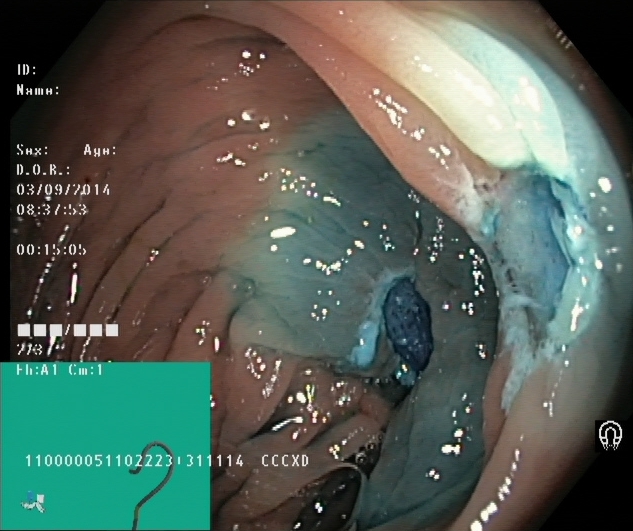modality: lower-GI endoscopy
category: therapeutic intervention
finding: dyed resection margins (post-polypectomy)